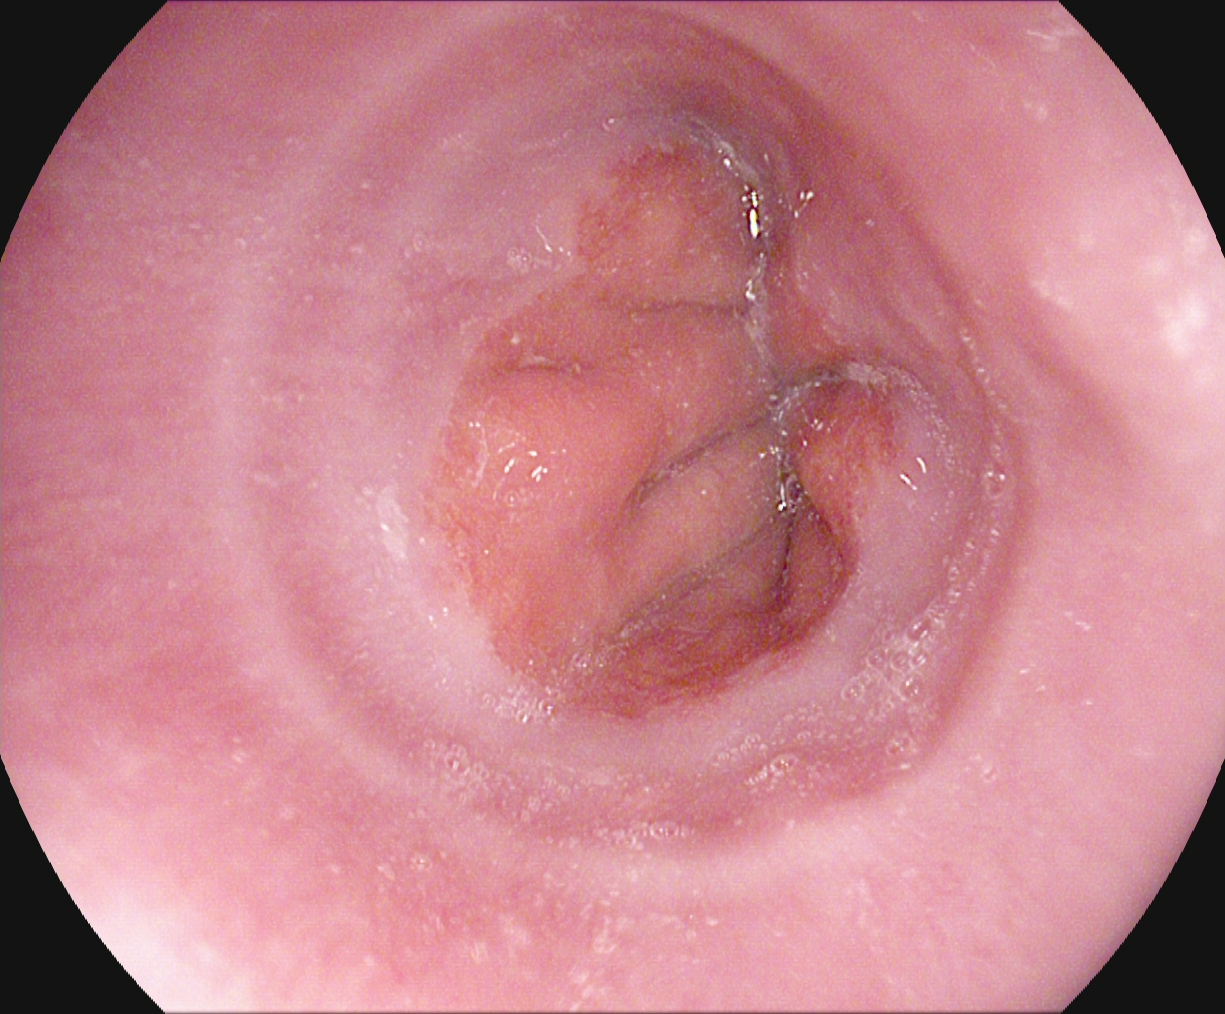Z-line (gastroesophageal junction).